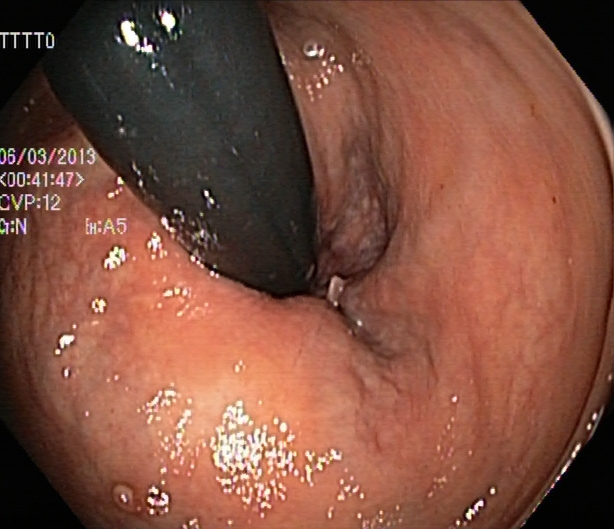{"modality": "lower gastrointestinal endoscopy", "tract": "lower GI tract", "finding": "rectum in retroflexion"}